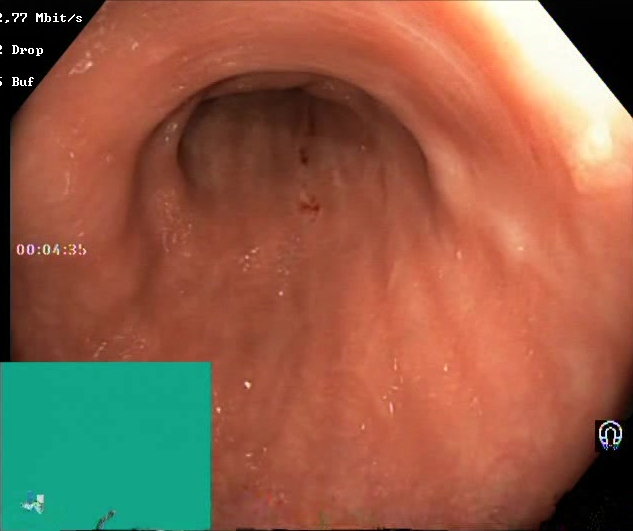{"modality": "colonoscopy", "tract": "lower GI tract", "category": "mucosal-view quality", "finding": "BBPS score 2\u20133 (adequate preparation)"}